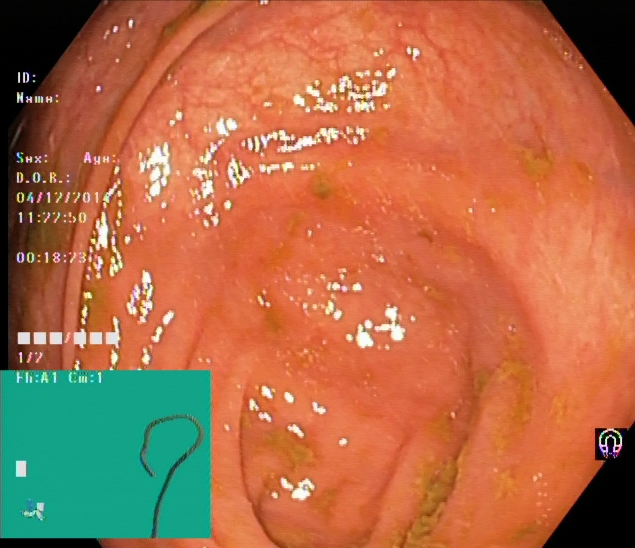Cecum.